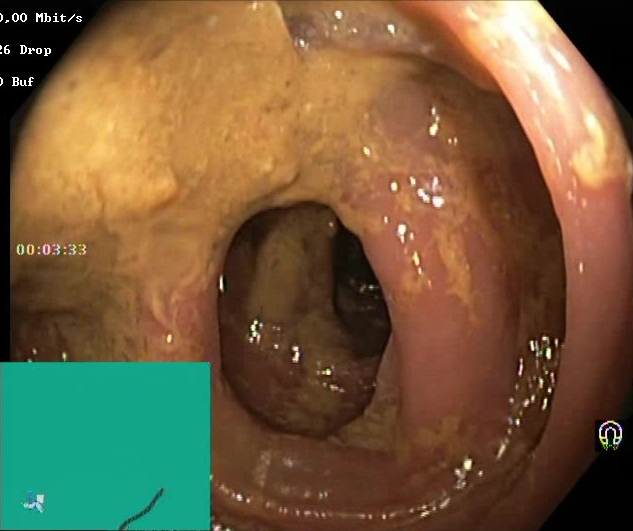This endoscopic image shows Boston Bowel Preparation Scale score 0–1 (inadequate preparation).